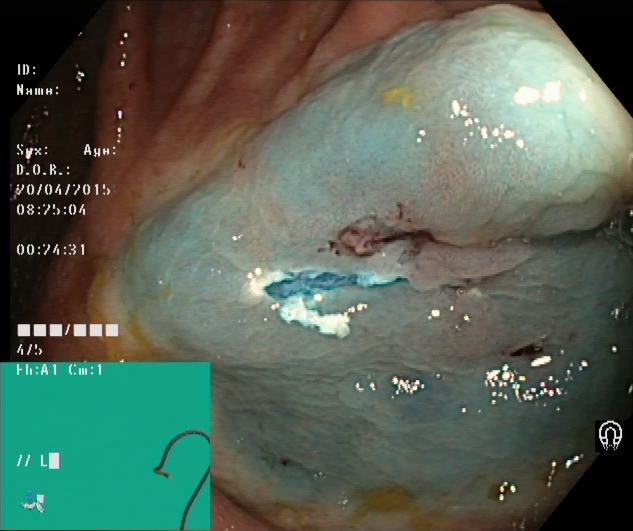Dyed resection margins (post-polypectomy).